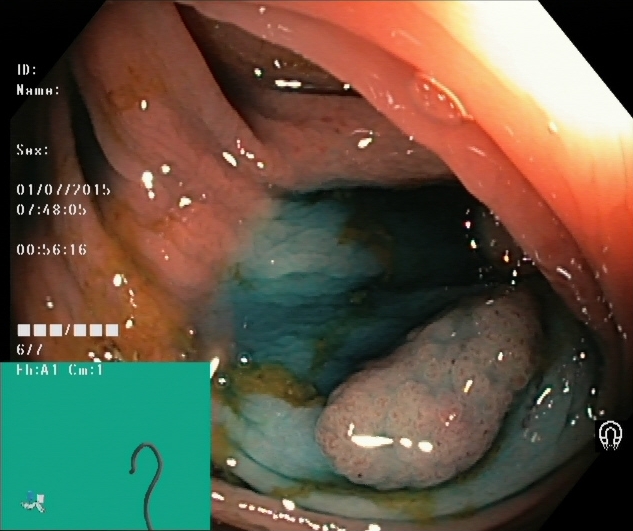GI endoscopy image of the lower GI tract showing dyed and lifted polyp (pre-resection).